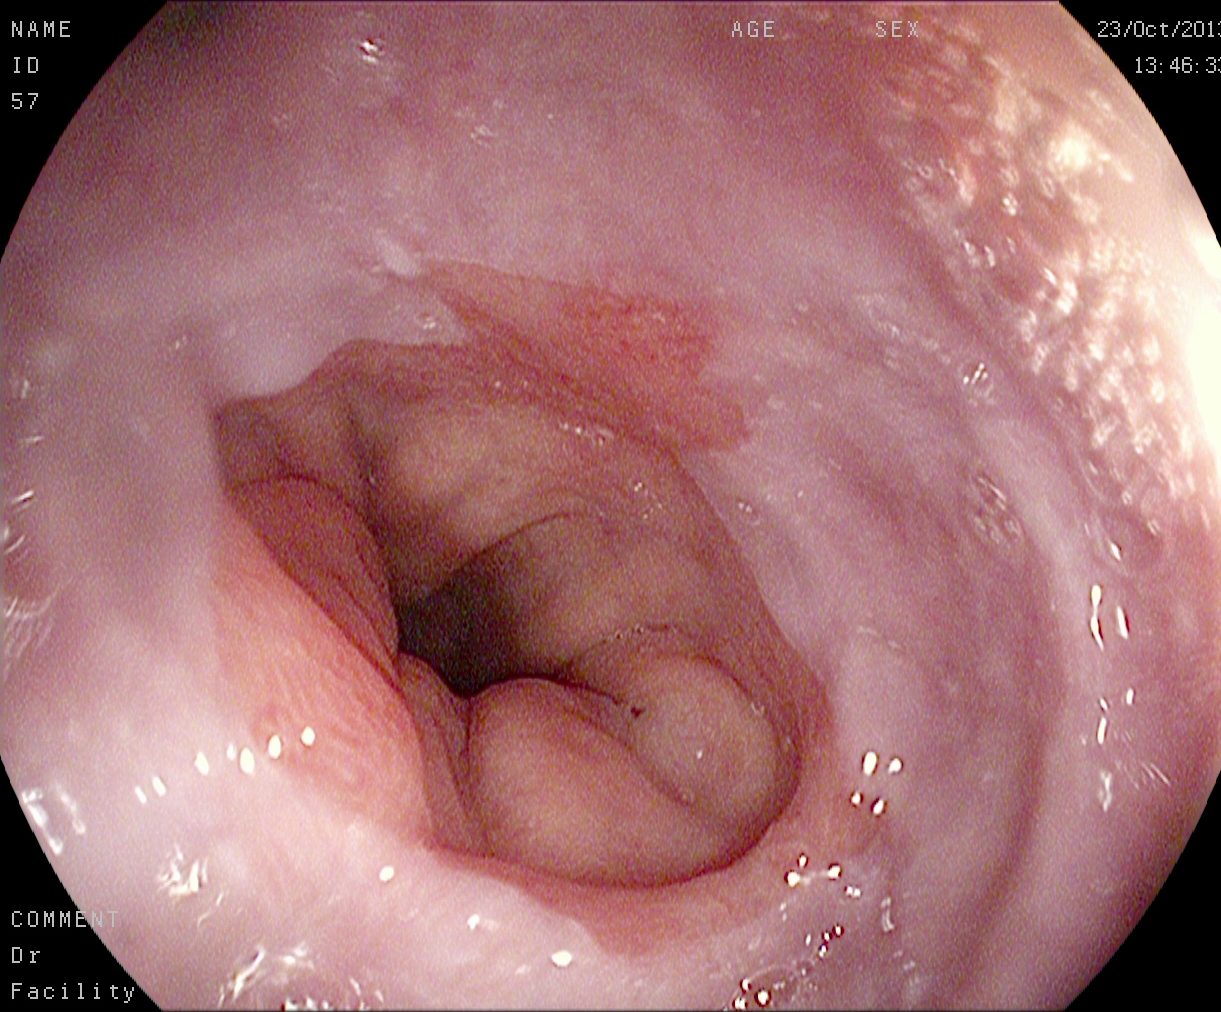Barrett's esophagus, short segment.